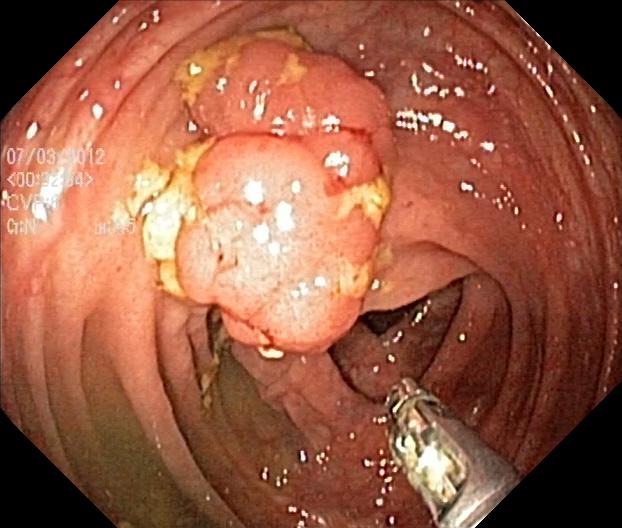This endoscopic image shows colorectal polyp(s).